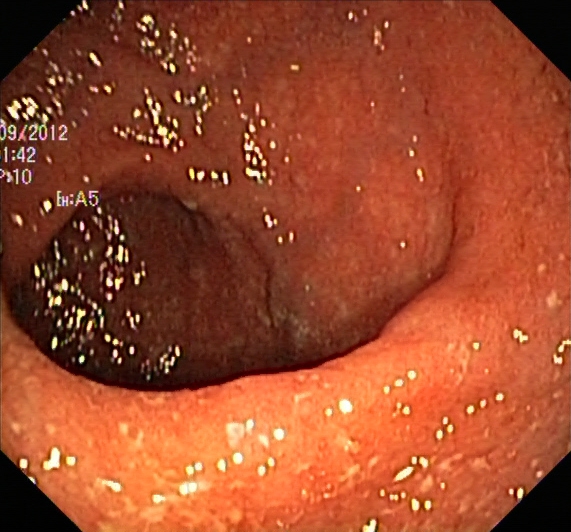{"modality": "colonoscopy", "tract": "lower GI tract", "category": "pathological finding", "finding": "ulcerative colitis, Mayo endoscopic subscore 2"}